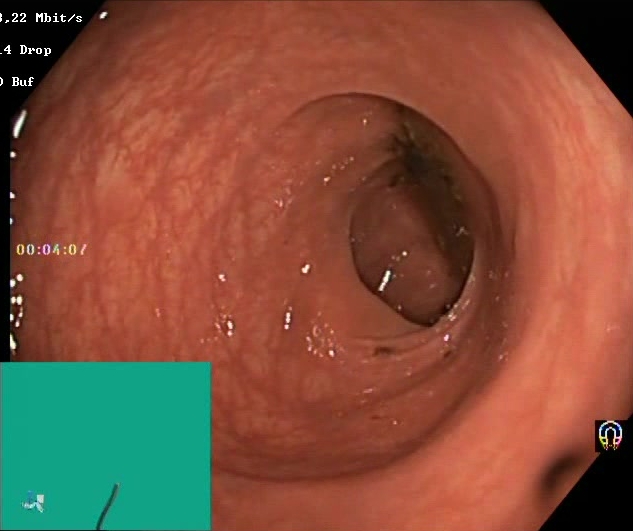modality: lower gastrointestinal endoscopy; category: mucosal-view quality; finding: Boston Bowel Preparation Scale score 0–1 (inadequate preparation)